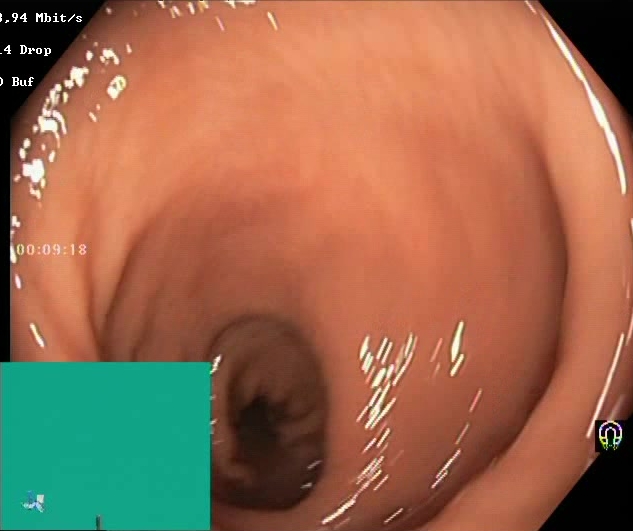Boston Bowel Preparation Scale score 2–3 (adequate preparation).